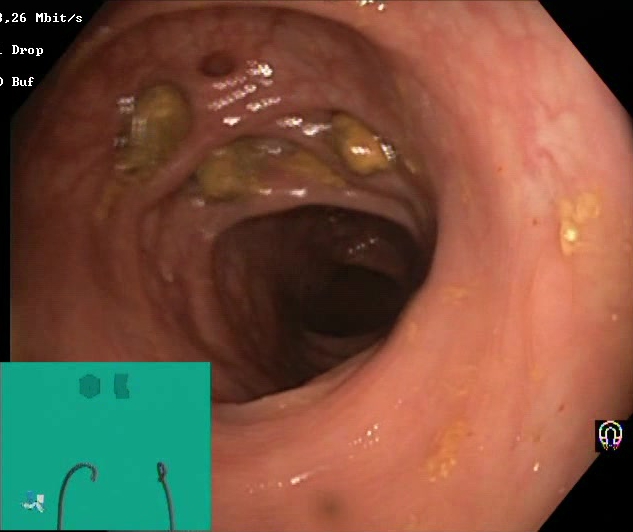Impacted stool.